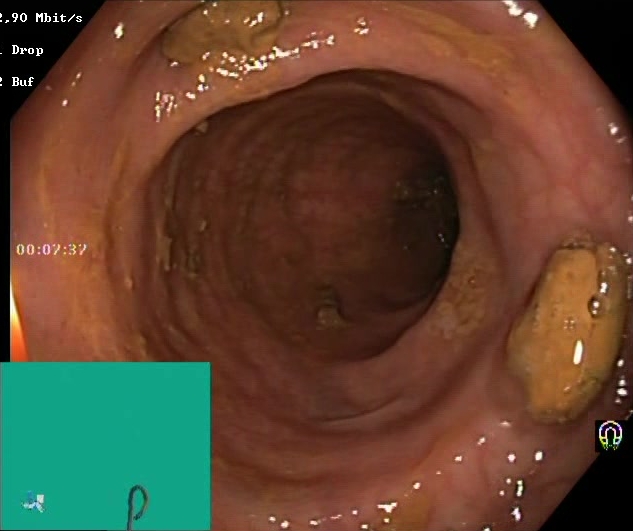PROCEDURE: Lower gastrointestinal endoscopy.
FINDINGS: Impacted stool.